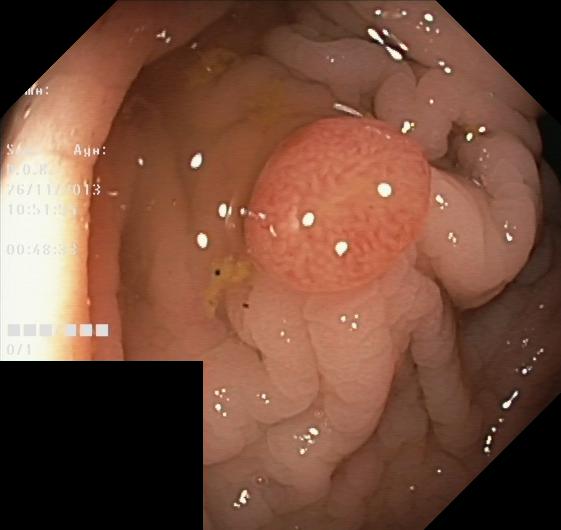Colorectal polyp(s).